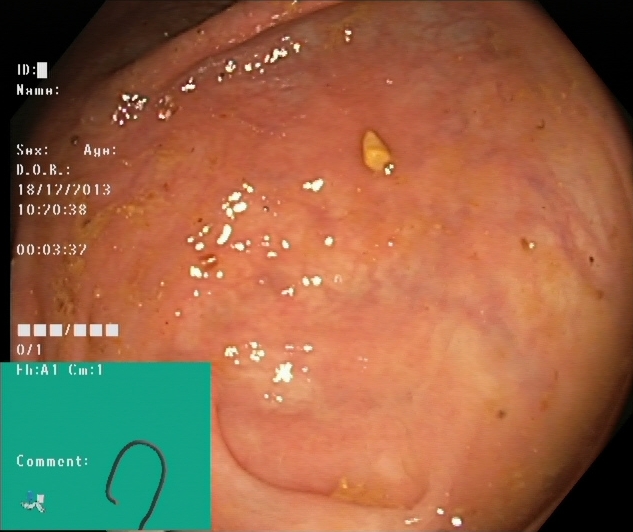modality: colonoscopy; category: anatomical landmark; finding: cecum